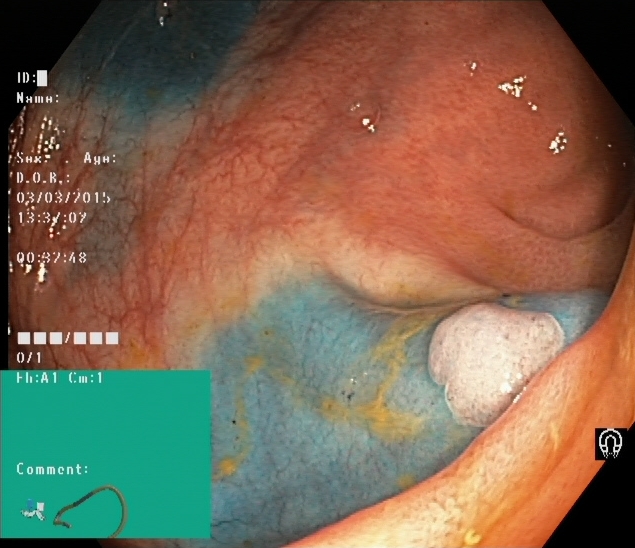Endoscopy image of the lower GI tract showing dyed and lifted polyp (pre-resection).